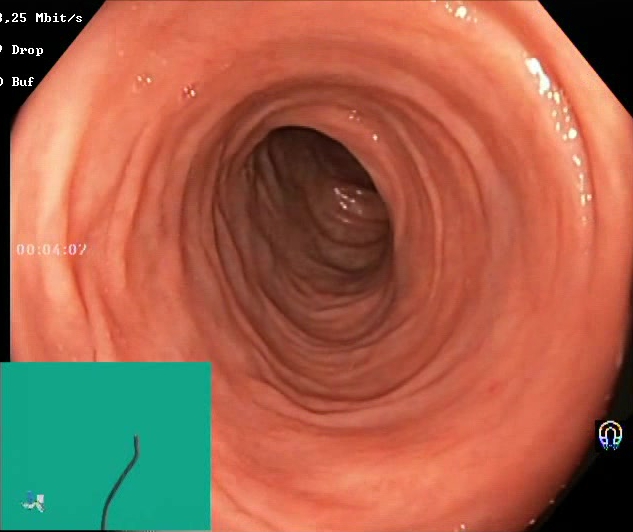Boston Bowel Preparation Scale score 2–3 (adequate preparation).